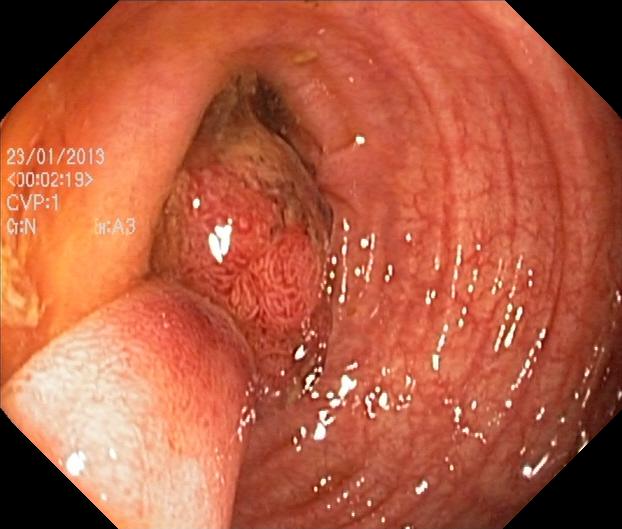Lower-GI endoscopy — colorectal polyp(s).